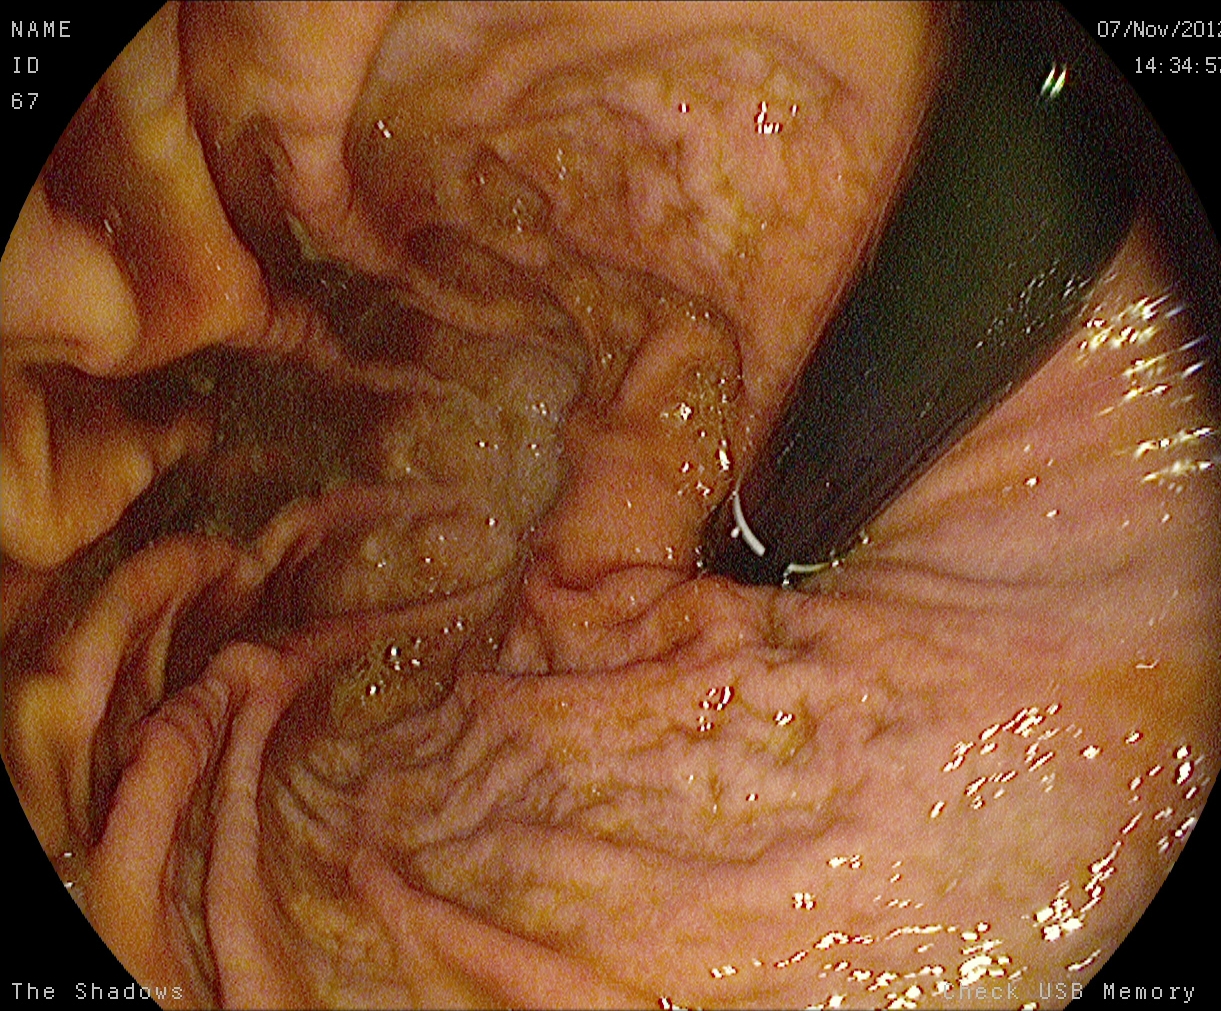EGD. Finding: stomach in retroflexion.